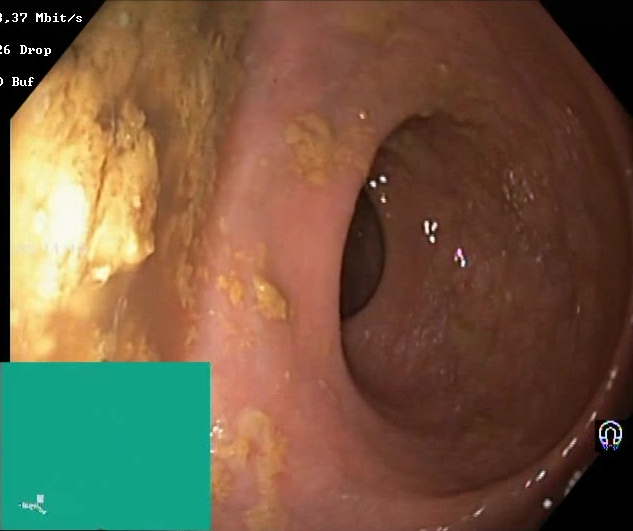Endoscopy image showing BBPS score 0–1 (inadequate preparation).